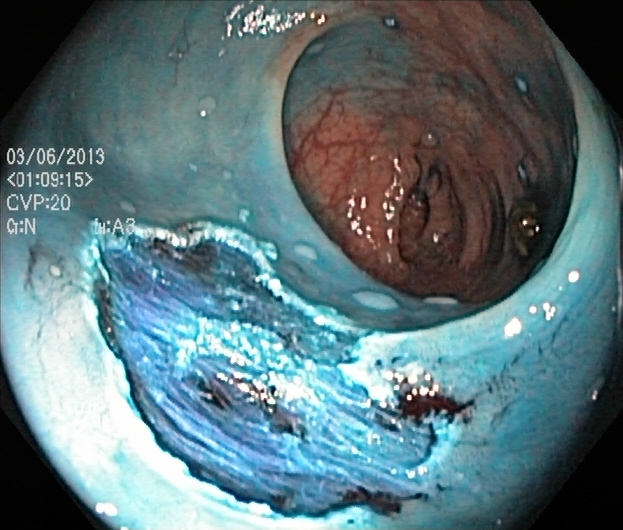Endoscopic frame of the lower GI tract showing dyed resection margins (post-polypectomy).